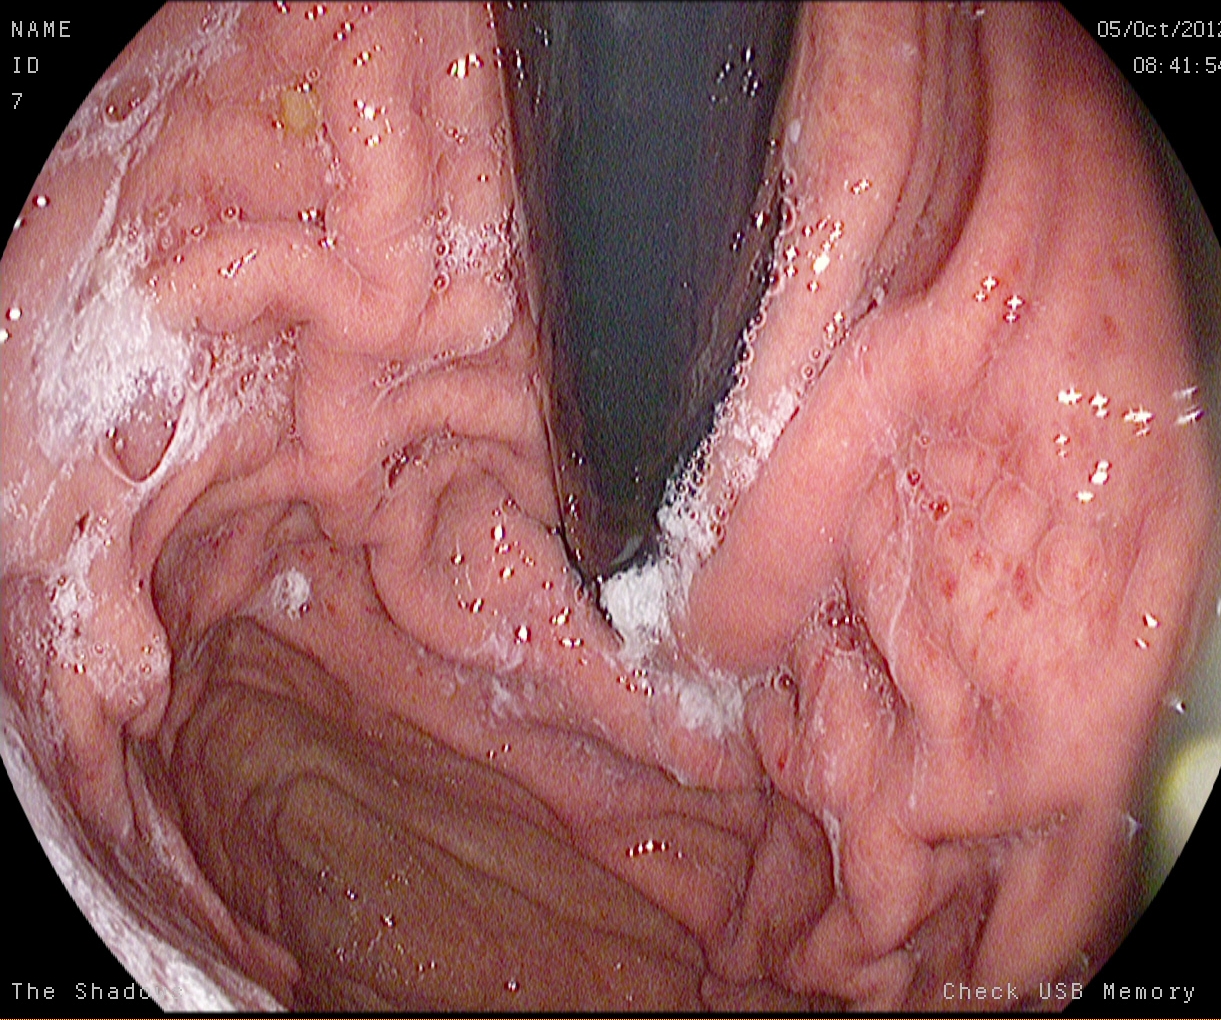Stomach in retroflexion.